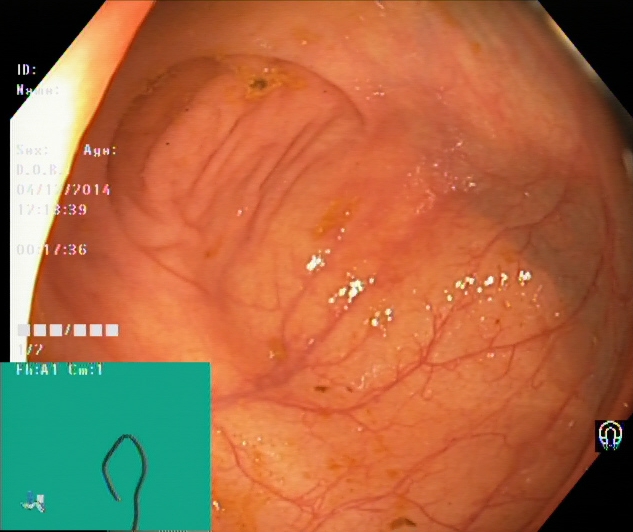modality: colonoscopy; tract: lower GI tract; finding: cecum